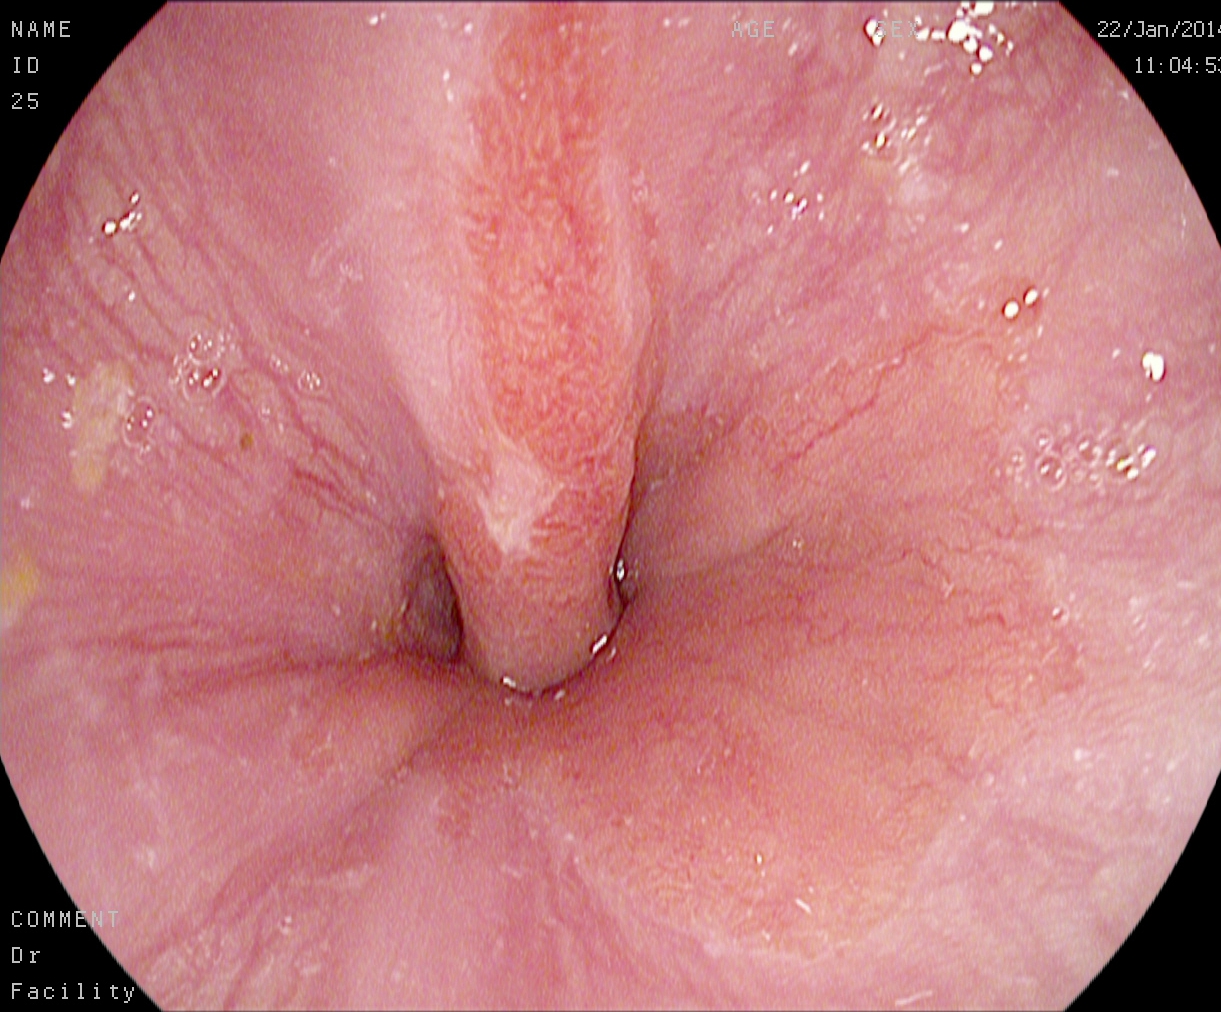GI endoscopy image of the upper GI tract showing reflux esophagitis, LA grade A.